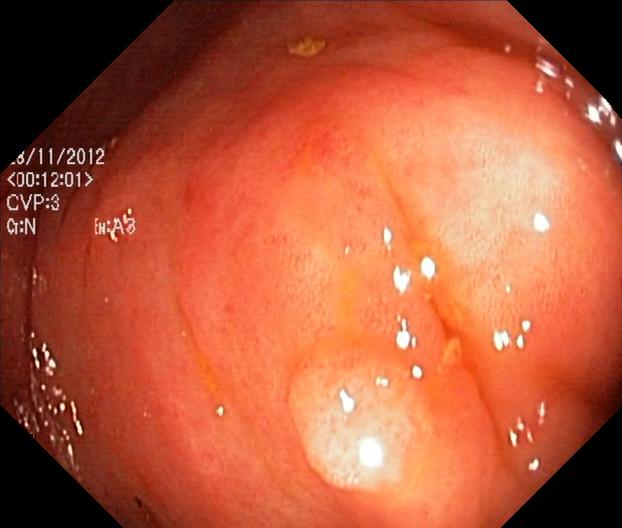Lower-GI endoscopy — colorectal polyp(s).